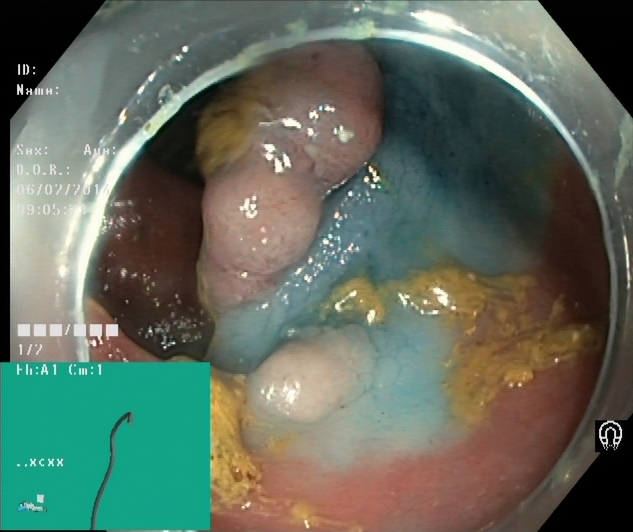{"modality": "colonoscopy", "finding": "dyed and lifted polyp (pre-resection)"}